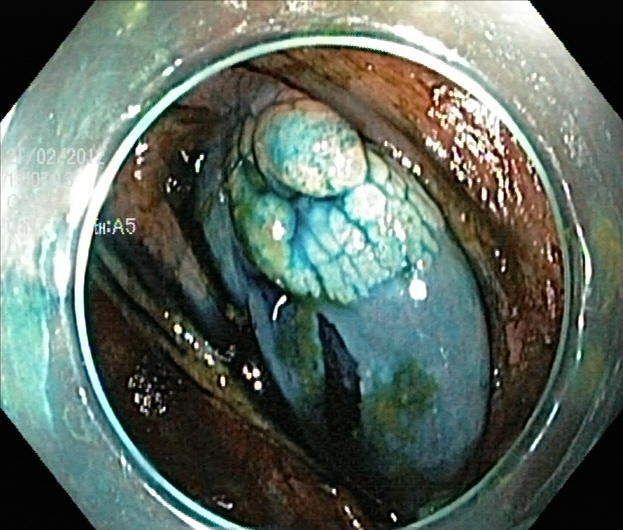This endoscopy frame shows dyed and lifted polyp (pre-resection).